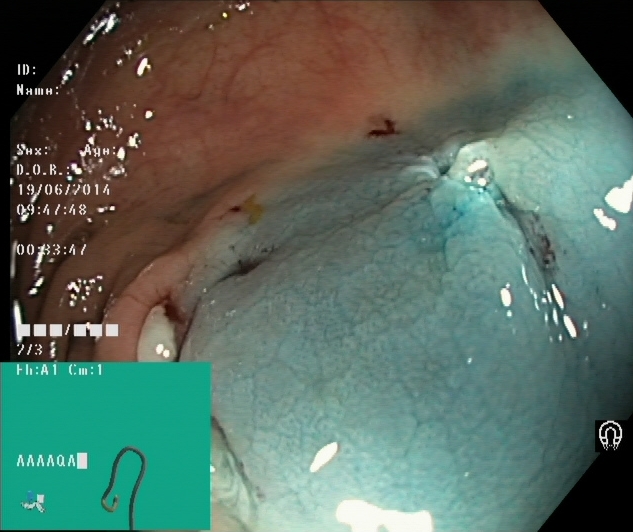{"modality": "colonoscopy", "tract": "lower GI tract", "finding": "dyed resection margins (post-polypectomy)"}